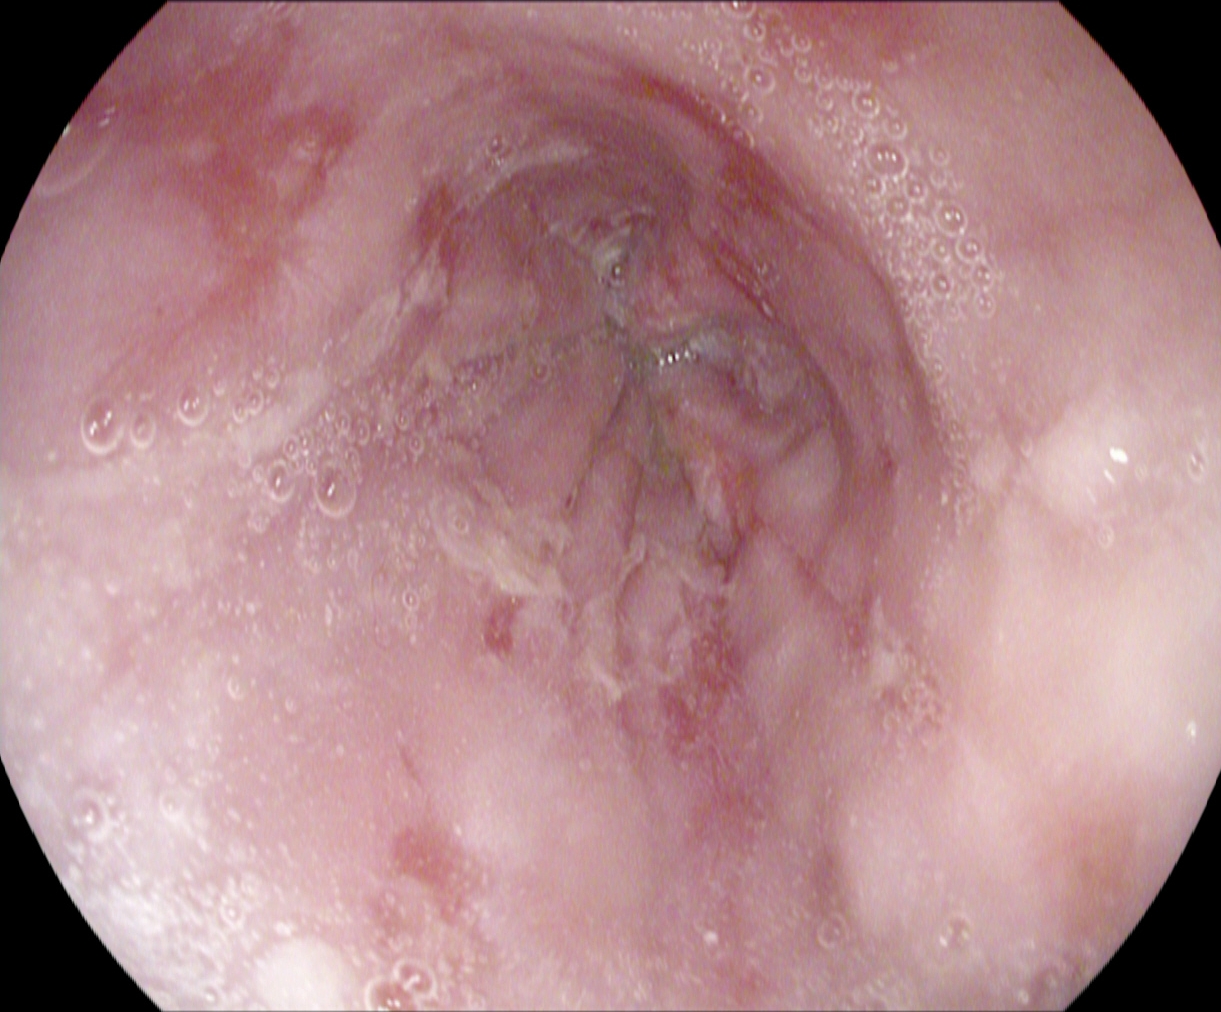Reflux esophagitis, Los Angeles grade B–D.